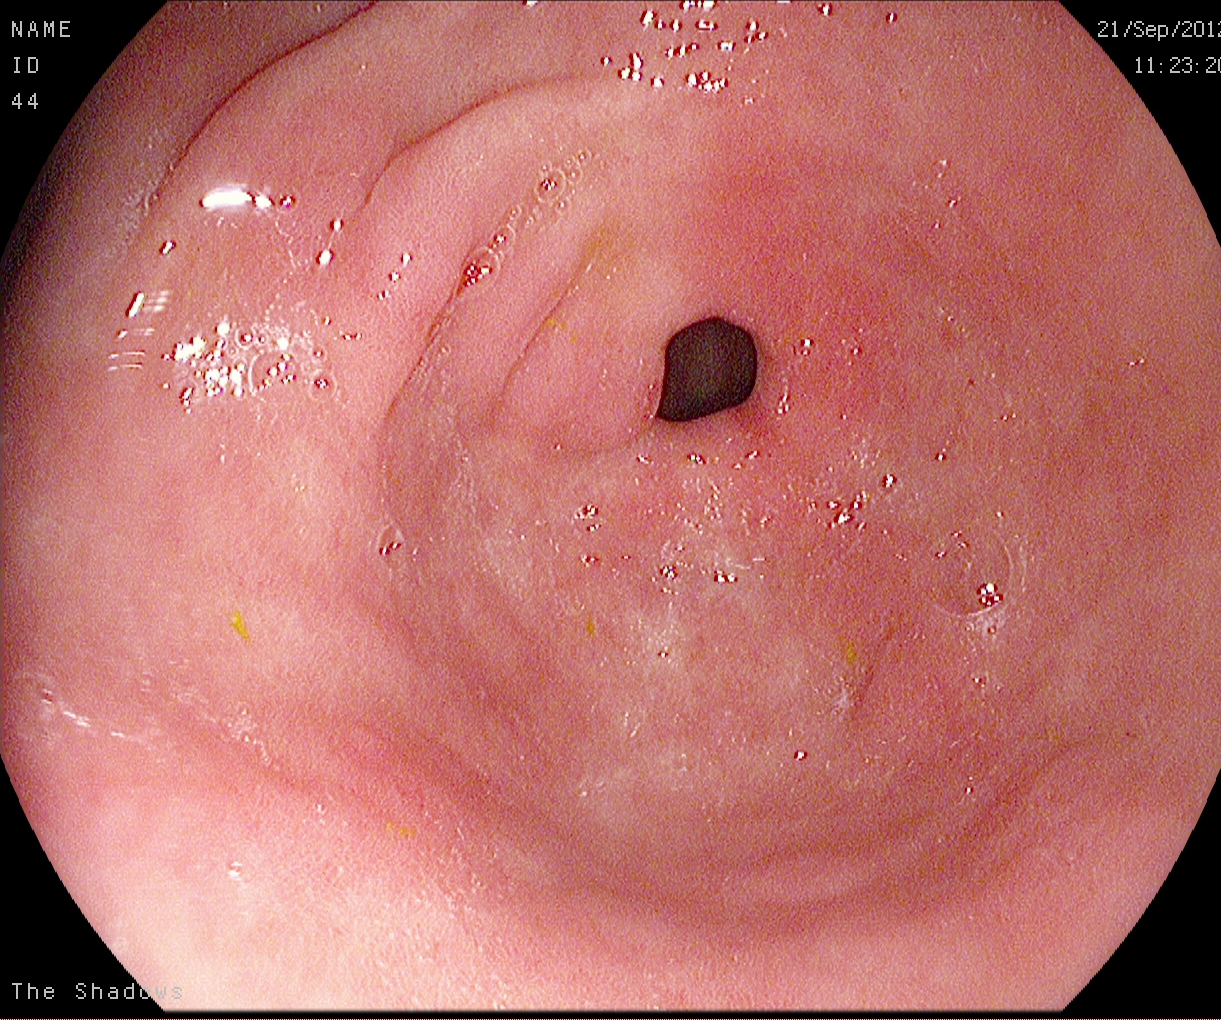Pylorus.